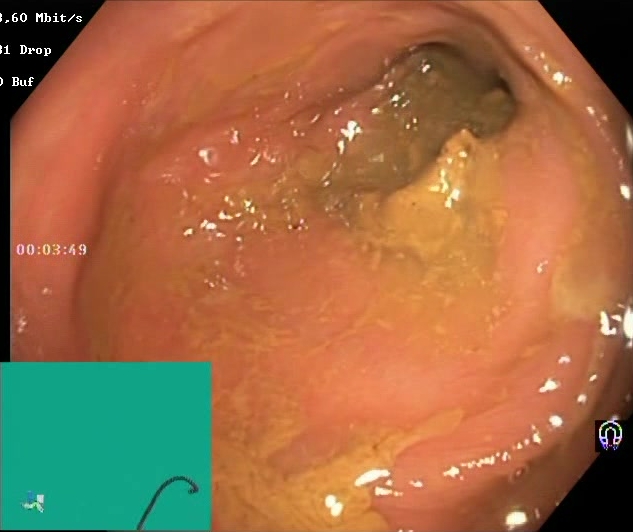Colonoscopy. Finding: Boston Bowel Preparation Scale score 0–1 (inadequate preparation).